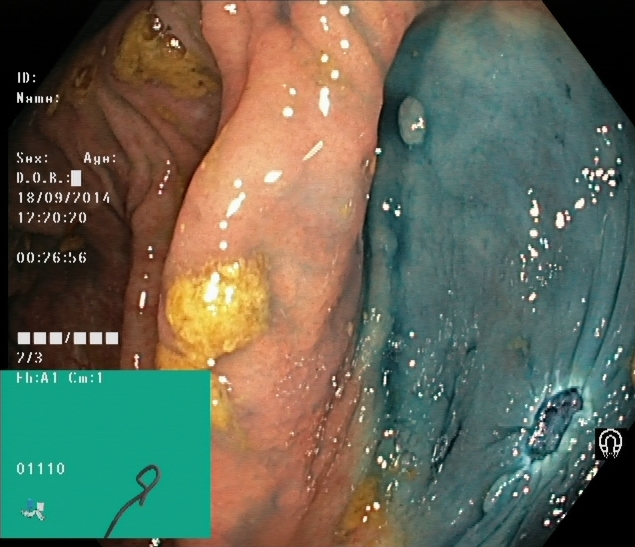modality: lower-GI endoscopy | category: therapeutic intervention | finding: dyed resection margins (post-polypectomy)